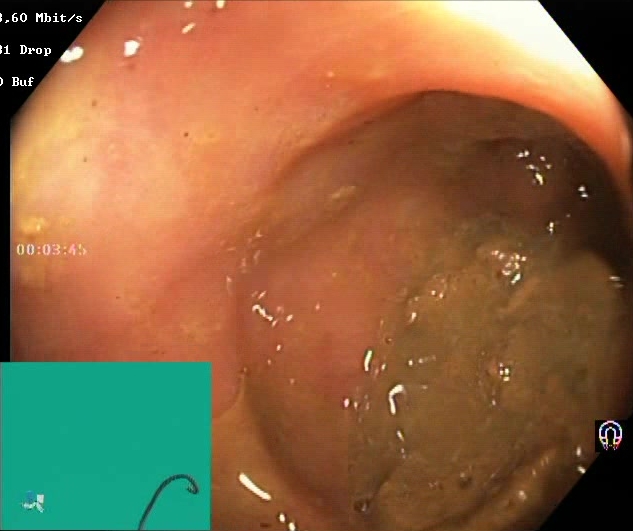Lower-GI endoscopy image of the lower GI tract showing Boston Bowel Preparation Scale score 0–1 (inadequate preparation).